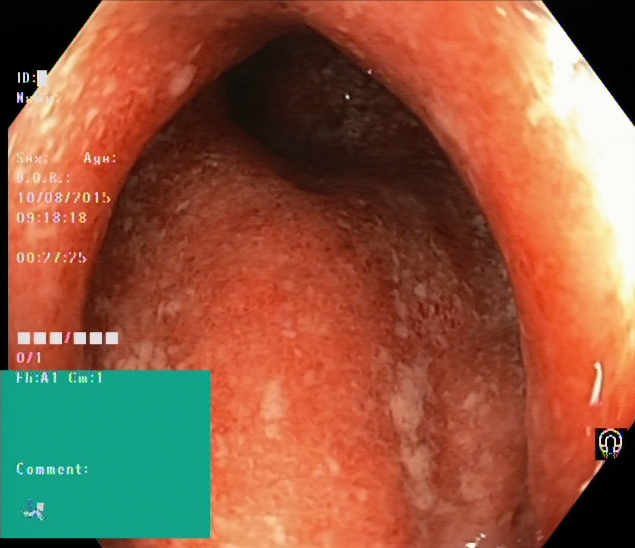Ulcerative colitis, Mayo endoscopic subscore 2.